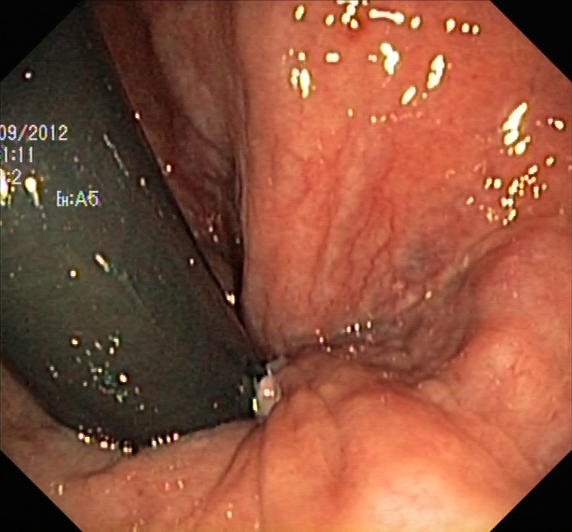{"modality": "lower gastrointestinal endoscopy", "tract": "lower GI tract", "category": "anatomical landmark", "finding": "rectum in retroflexion"}